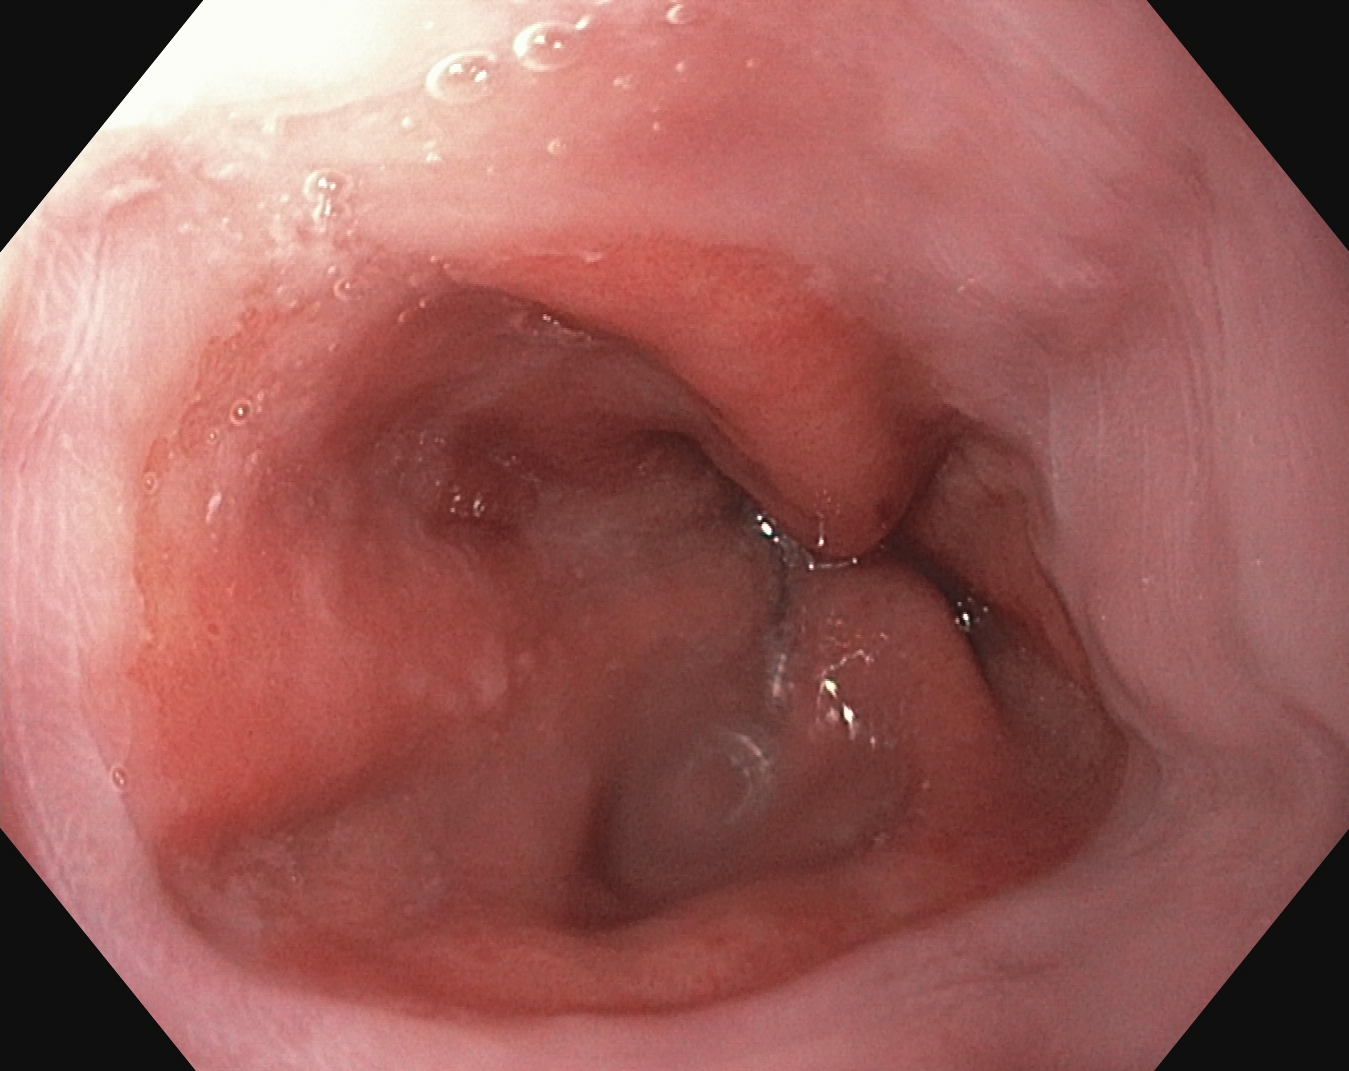Z-line (gastroesophageal junction).